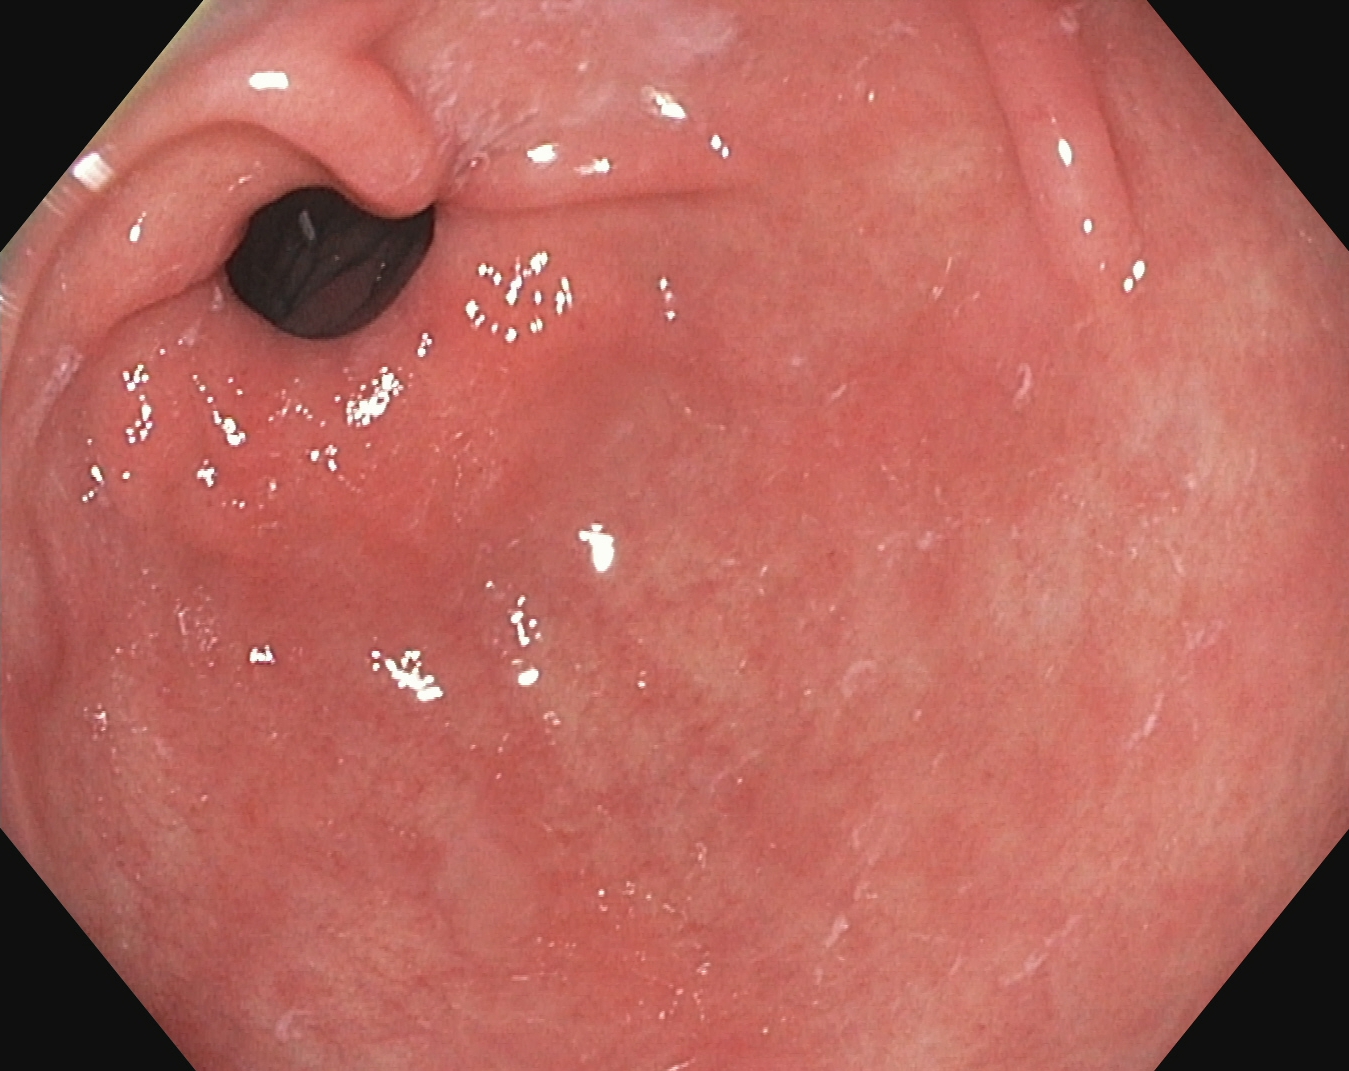Esophagogastroduodenoscopy — pylorus.